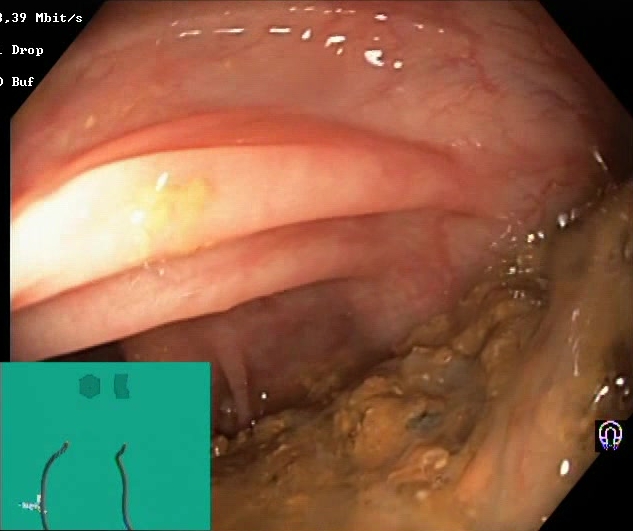GI endoscopy image of the lower GI tract showing BBPS score 0–1 (inadequate preparation).